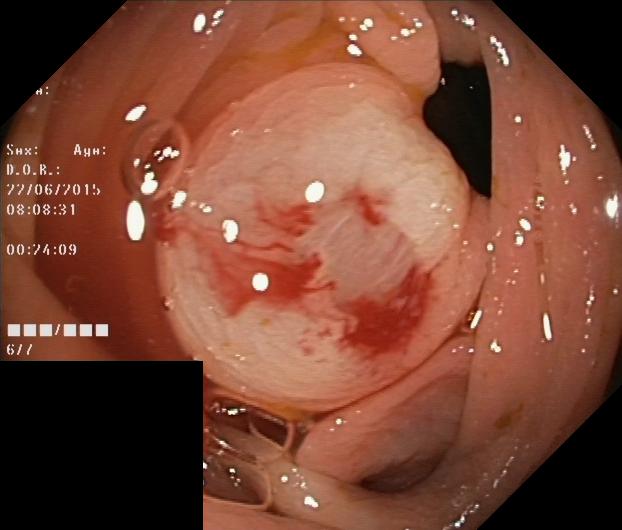Lower gastrointestinal endoscopy. Finding: colorectal polyp(s).